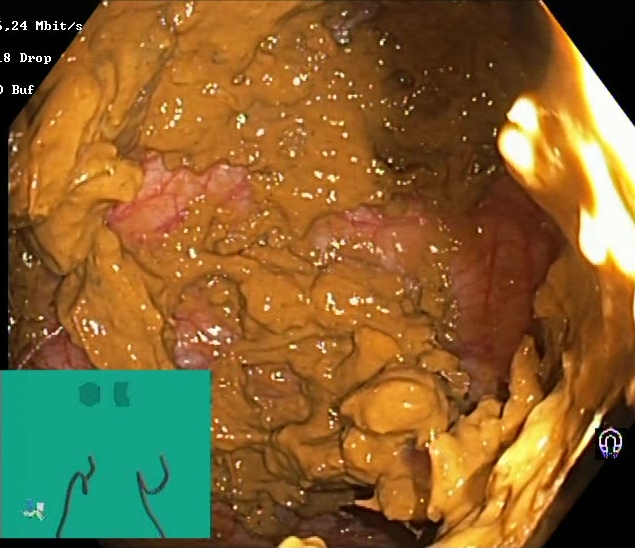{"modality": "lower gastrointestinal endoscopy", "tract": "lower GI tract", "finding": "BBPS score 0\u20131 (inadequate preparation)"}